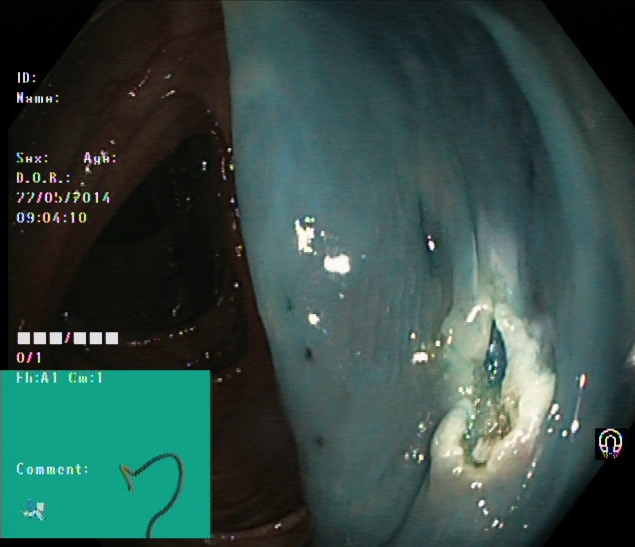PROCEDURE: Lower gastrointestinal endoscopy.
CATEGORY: Therapeutic intervention.
FINDINGS: Dyed resection margins (post-polypectomy).